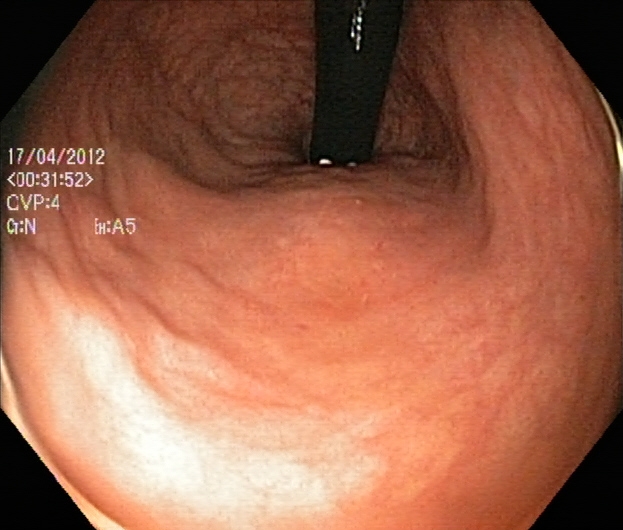Rectum in retroflexion.